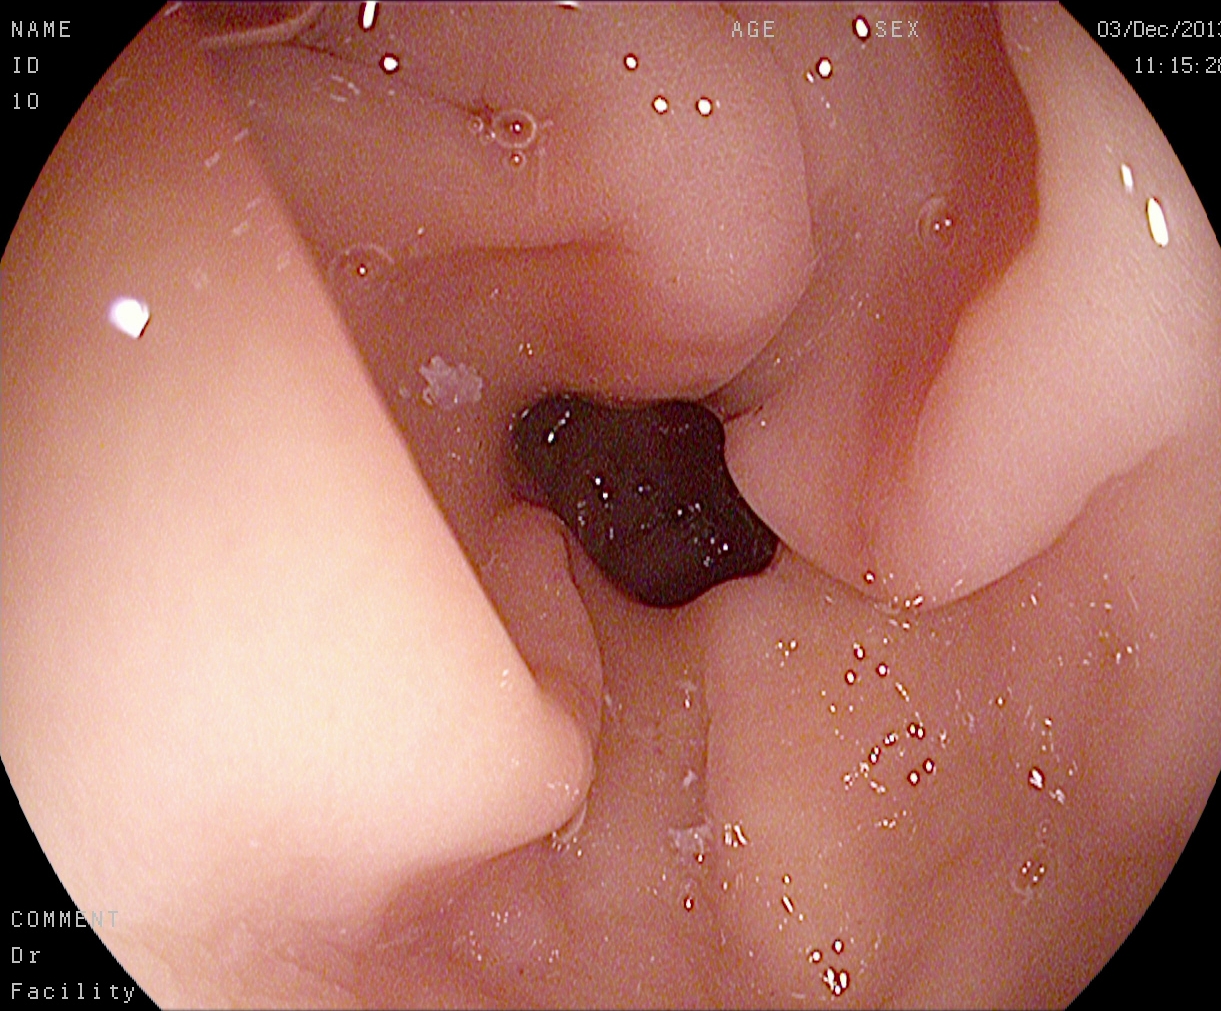Pylorus.